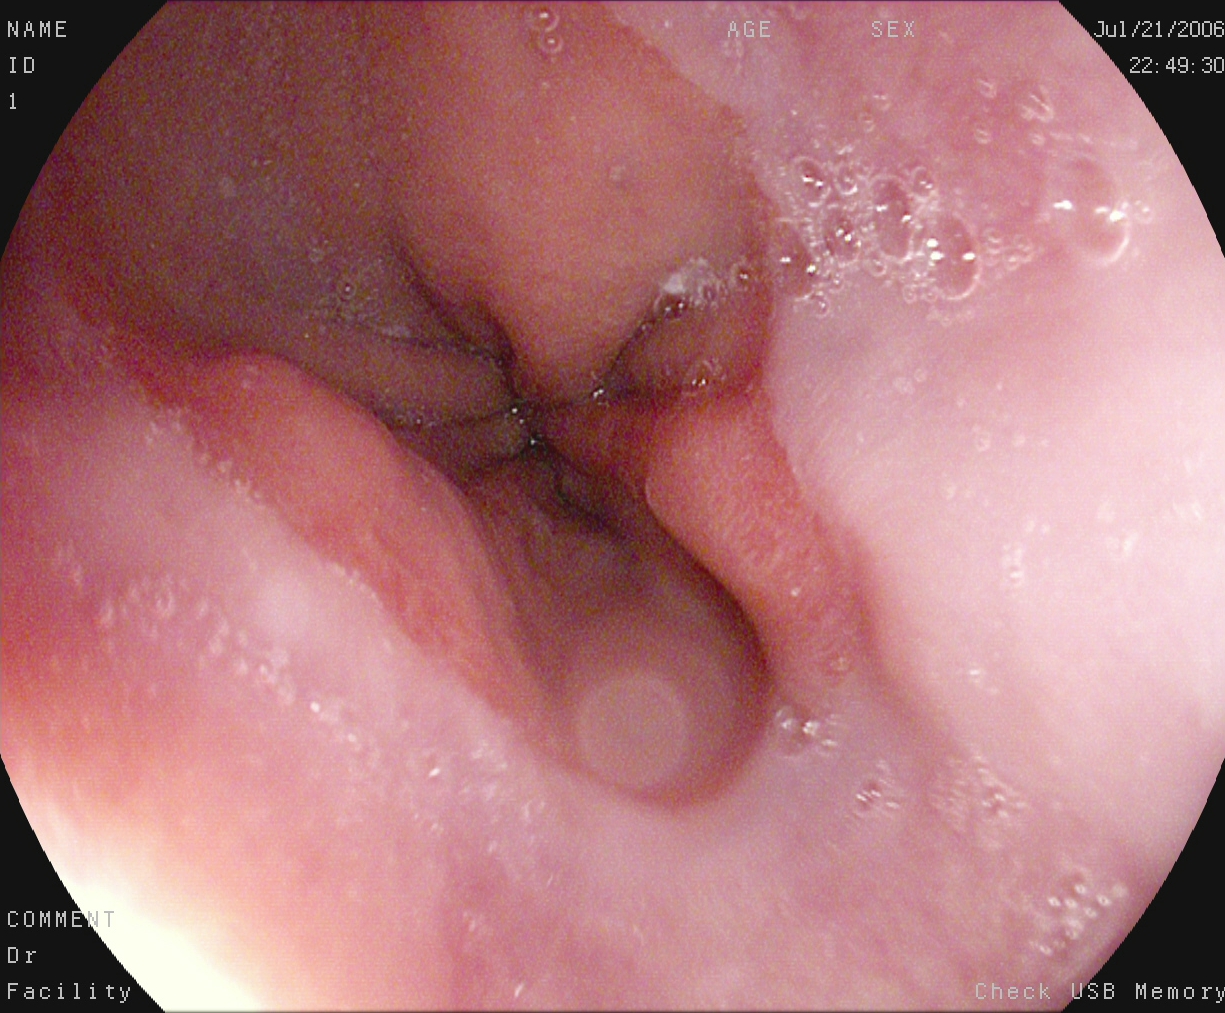Z-line (gastroesophageal junction).